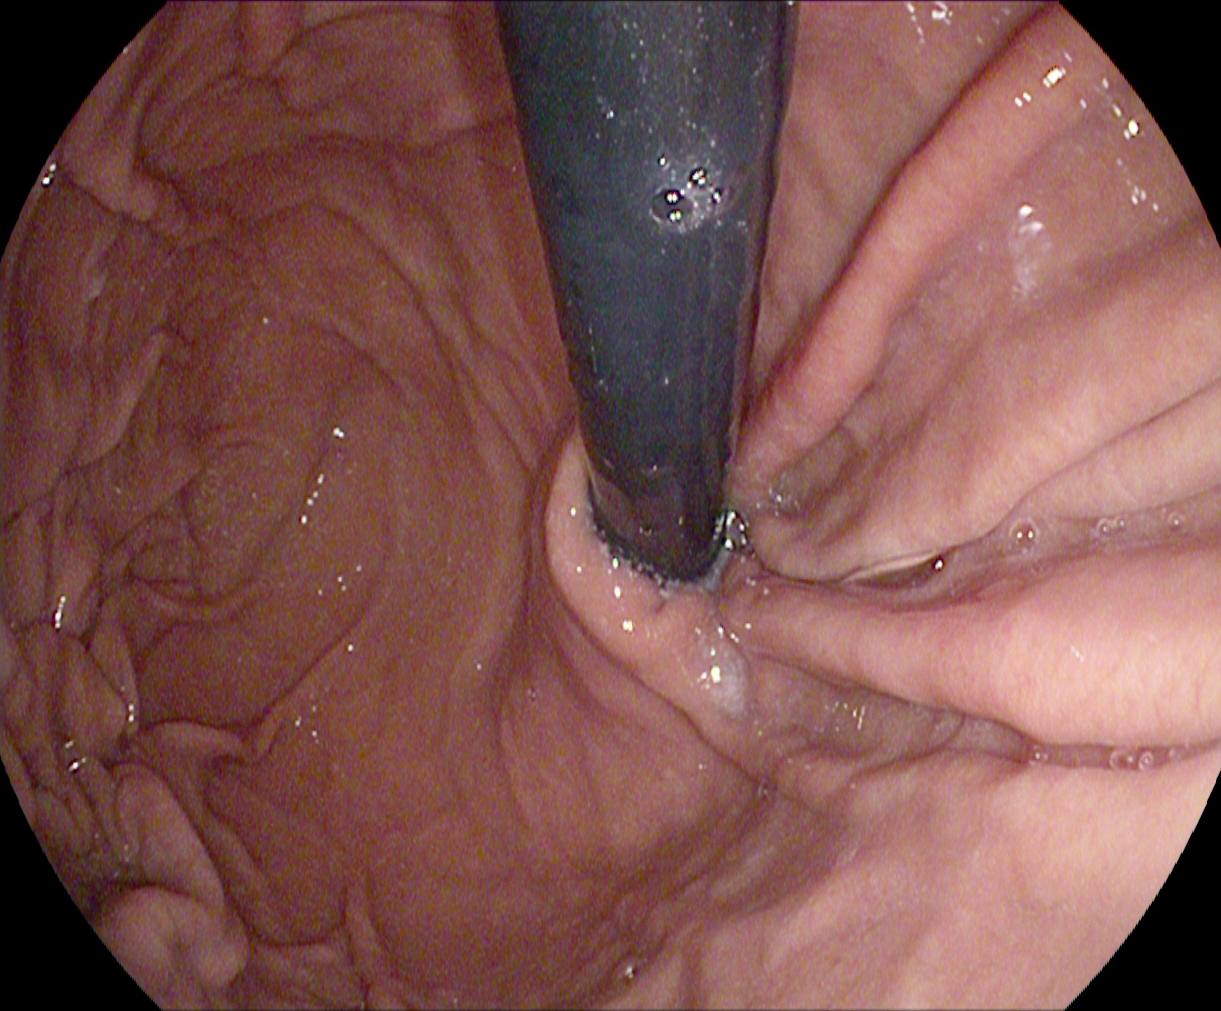PROCEDURE: Esophagogastroduodenoscopy.
FINDINGS: Stomach in retroflexion.